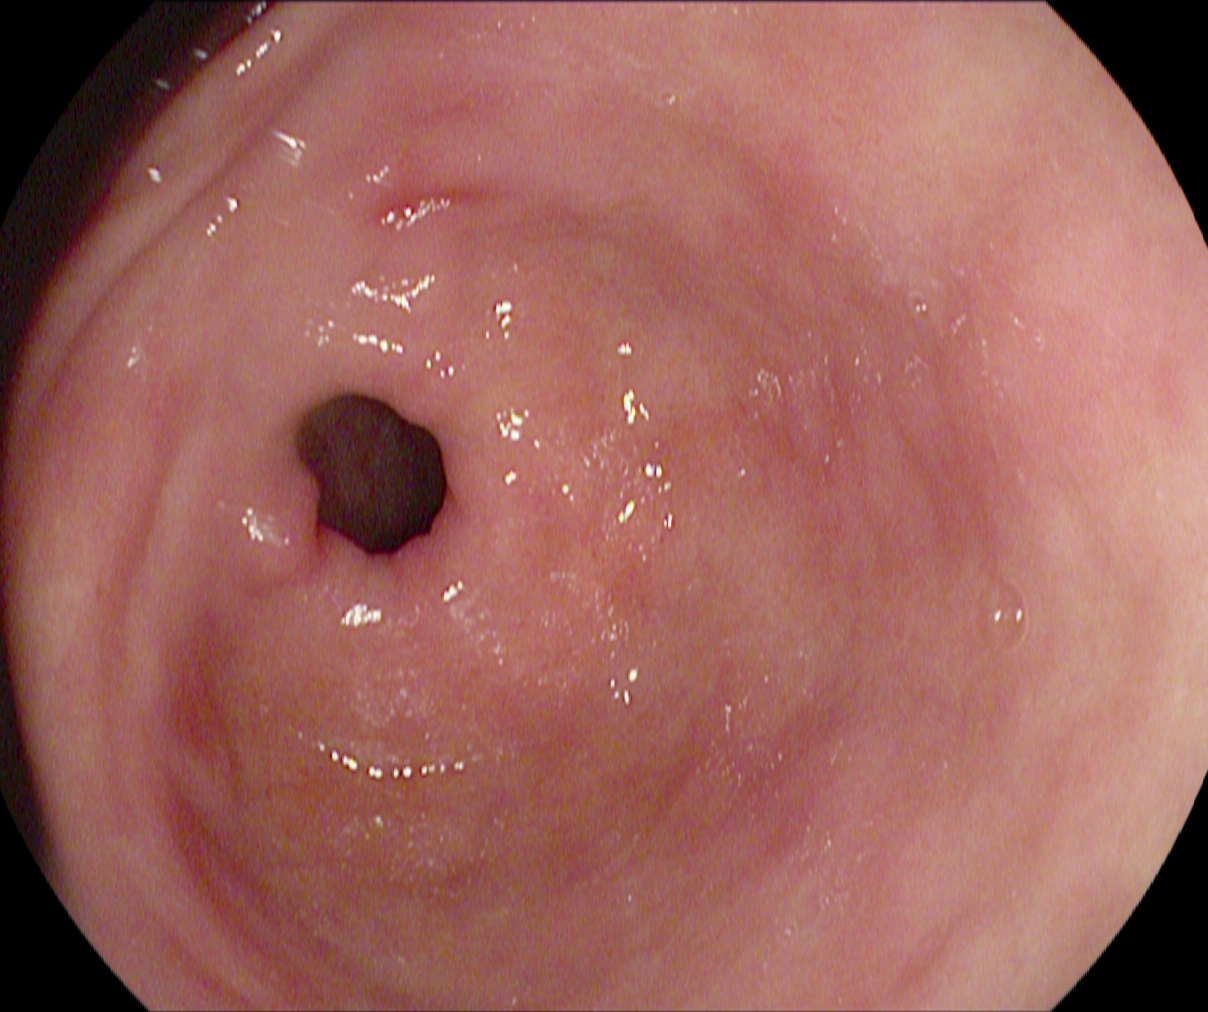Pylorus.